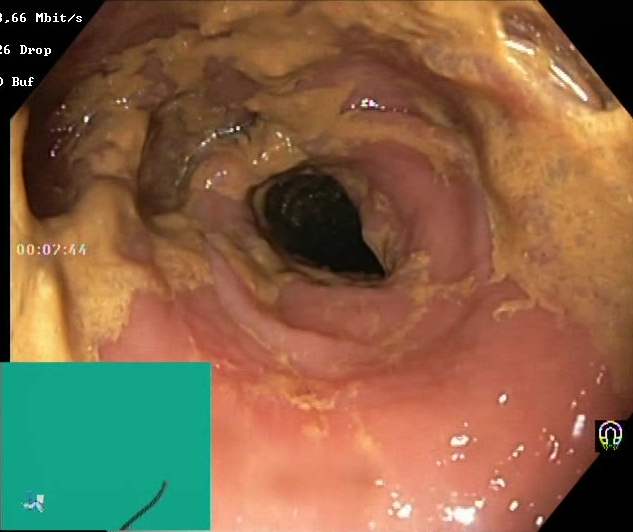modality: colonoscopy | tract: lower GI tract | finding: Boston Bowel Preparation Scale score 0–1 (inadequate preparation)